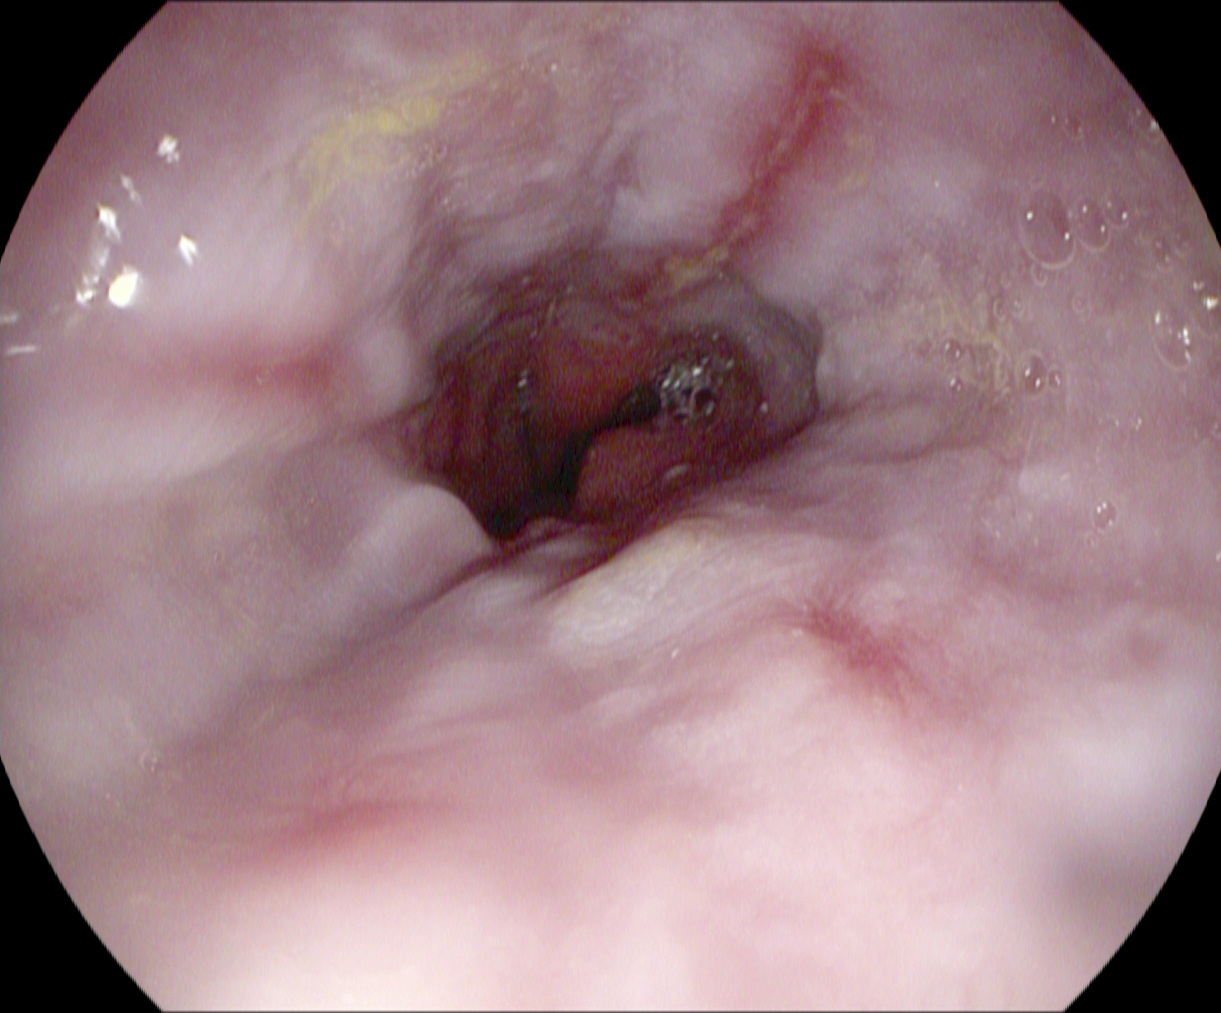EGD. Finding: reflux esophagitis, Los Angeles grade B–D.